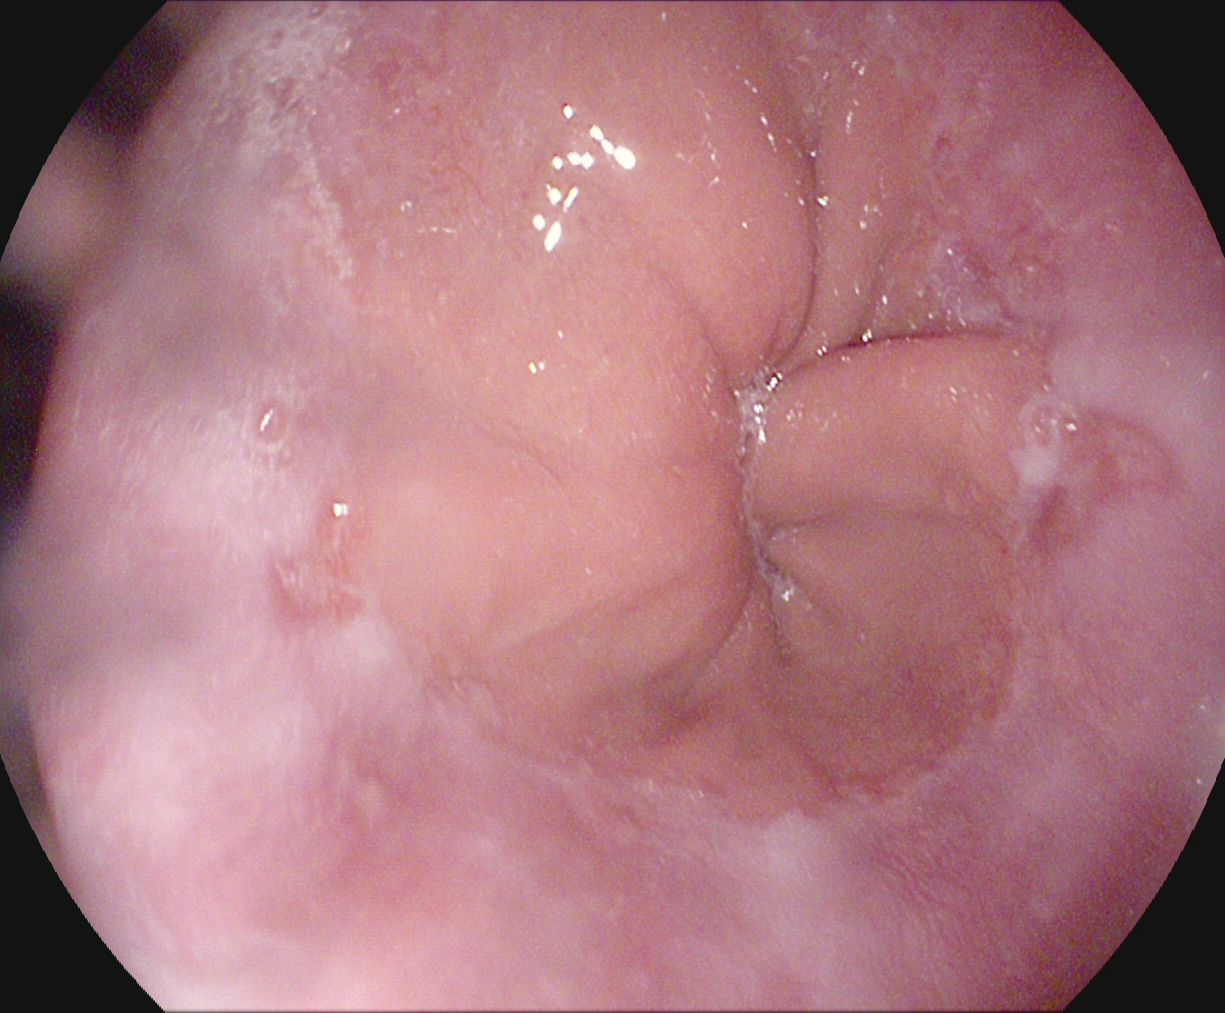Gastroscopy. Finding: reflux esophagitis, Los Angeles grade A.